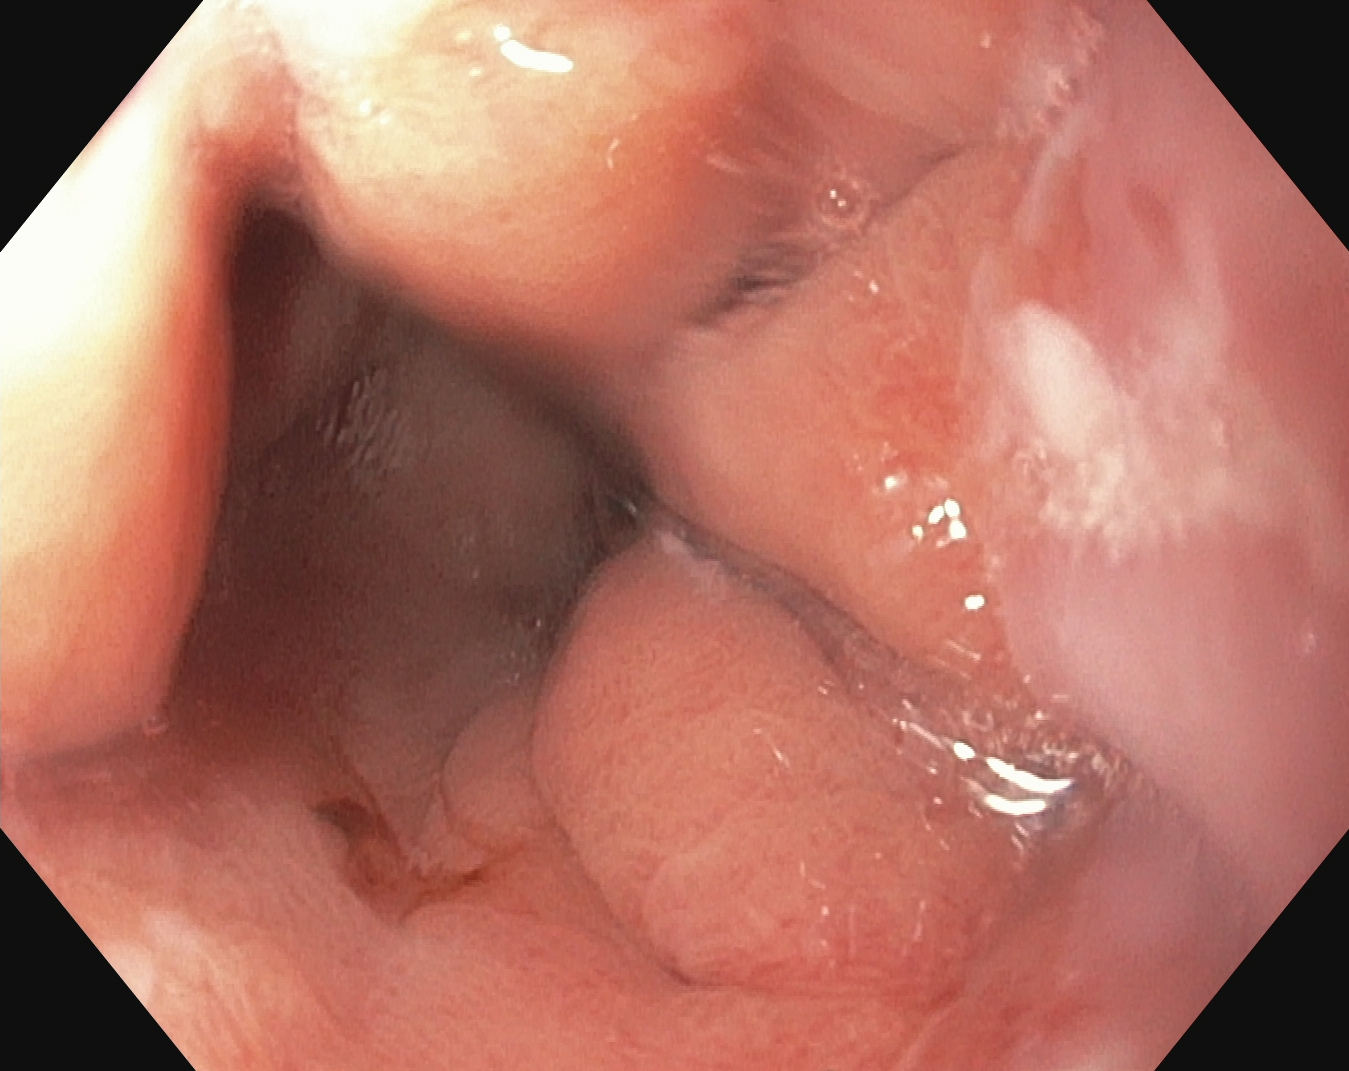Endoscopic frame showing reflux esophagitis, LA grade A.